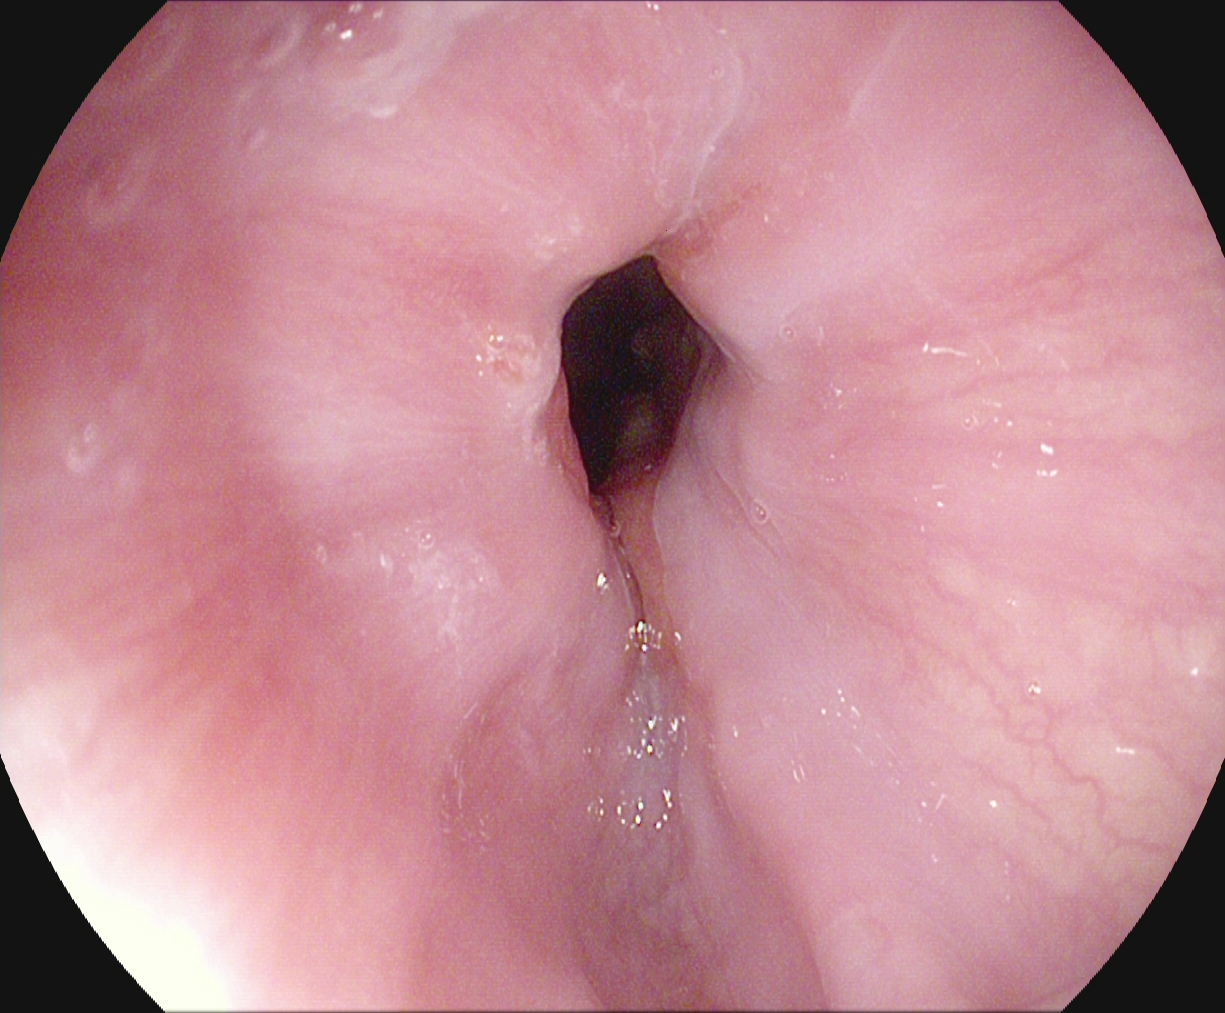{"modality": "EGD", "finding": "Z-line (gastroesophageal junction)"}